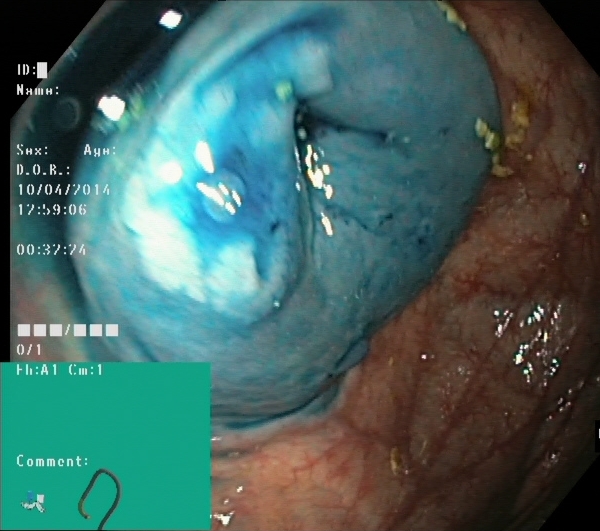Lower gastrointestinal endoscopy image showing dyed and lifted polyp (pre-resection).